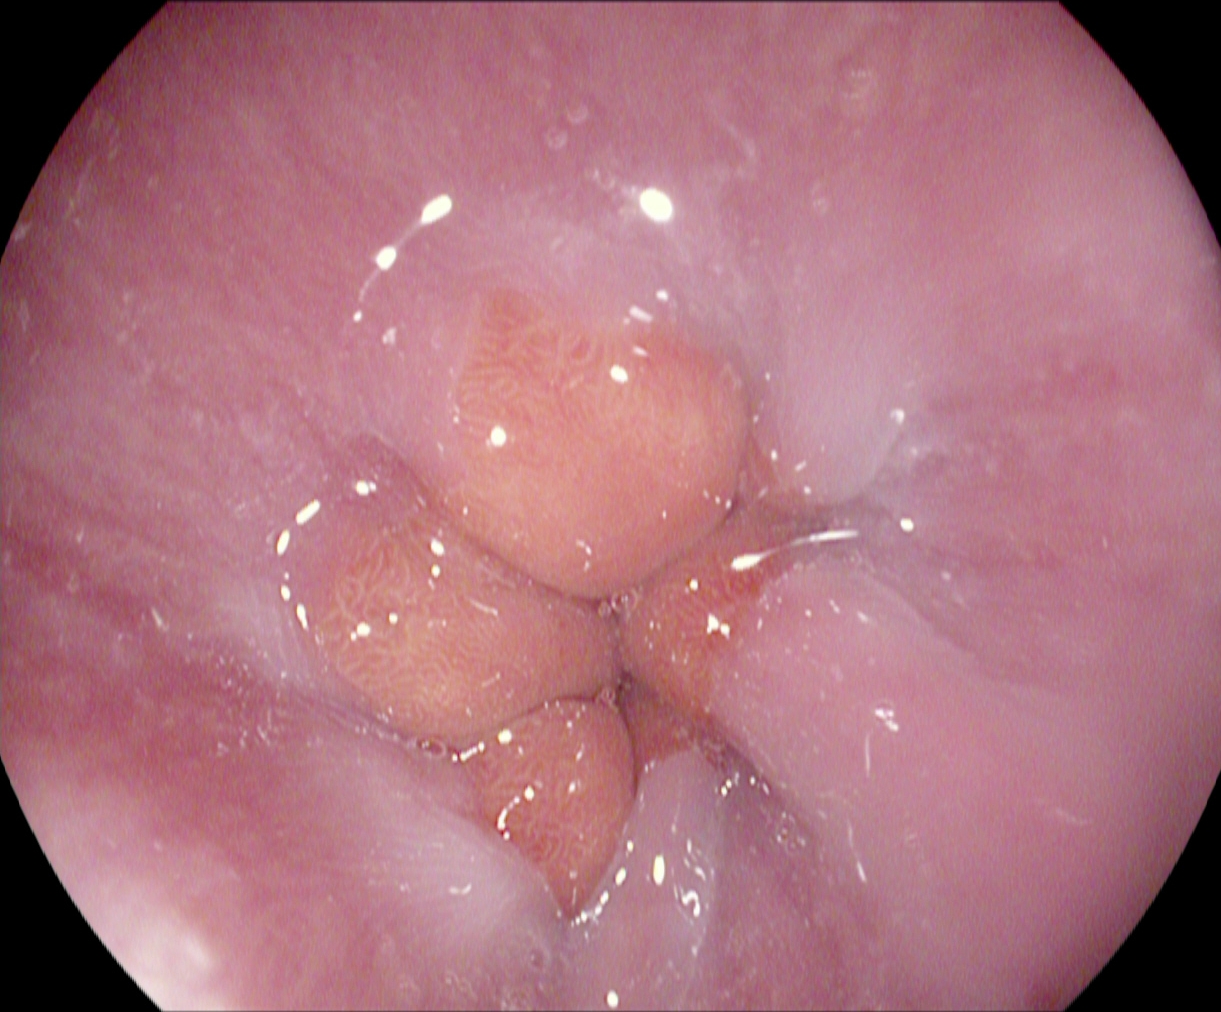Gastroscopy. Tract: upper GI tract. Anatomical landmark. Finding: Z-line (gastroesophageal junction).